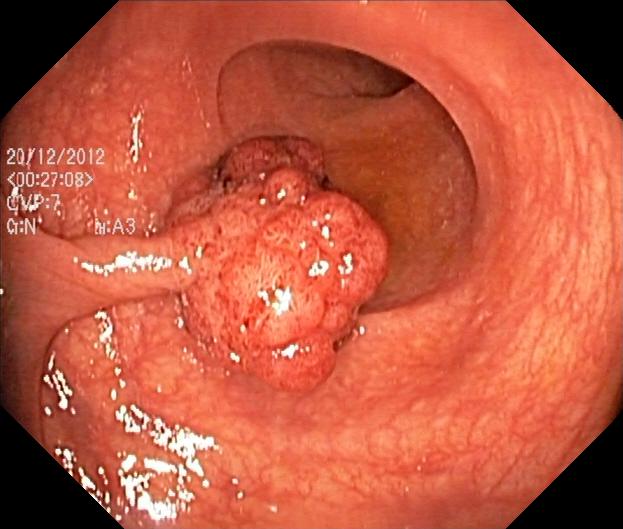Lower-GI endoscopy. Tract: lower GI tract. Finding: colorectal polyp(s).